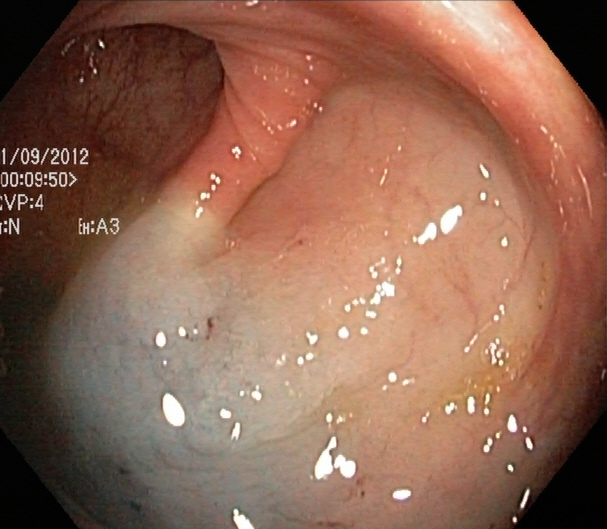This endoscopy frame shows dyed and lifted polyp (pre-resection).